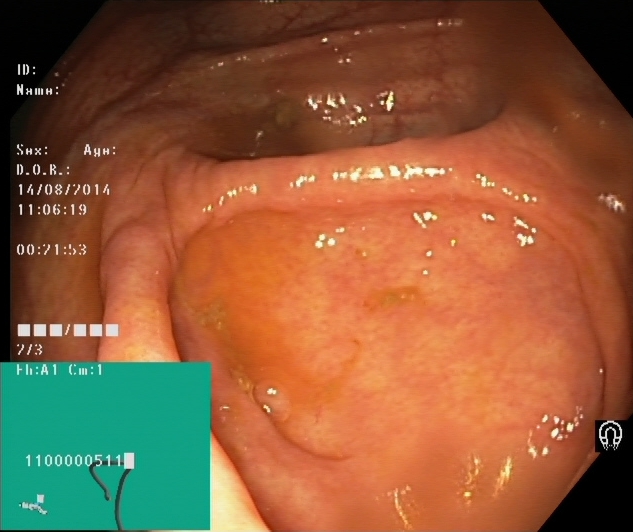PROCEDURE: Colonoscopy.
CATEGORY: Anatomical landmark.
FINDINGS: Cecum.